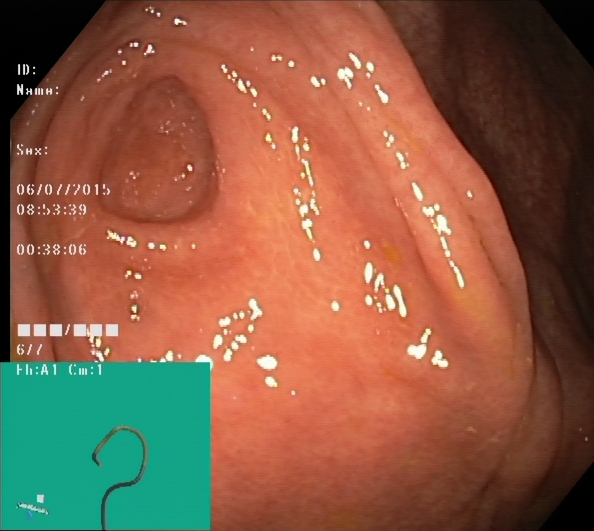{"modality": "colonoscopy", "tract": "lower GI tract", "finding": "cecum"}